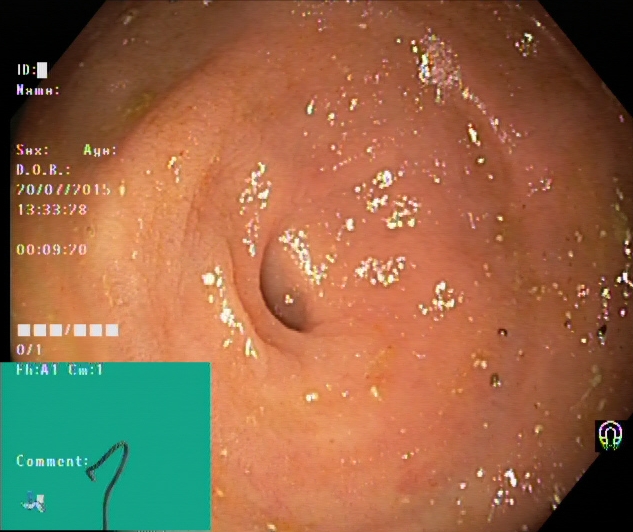This endoscopy frame shows cecum.